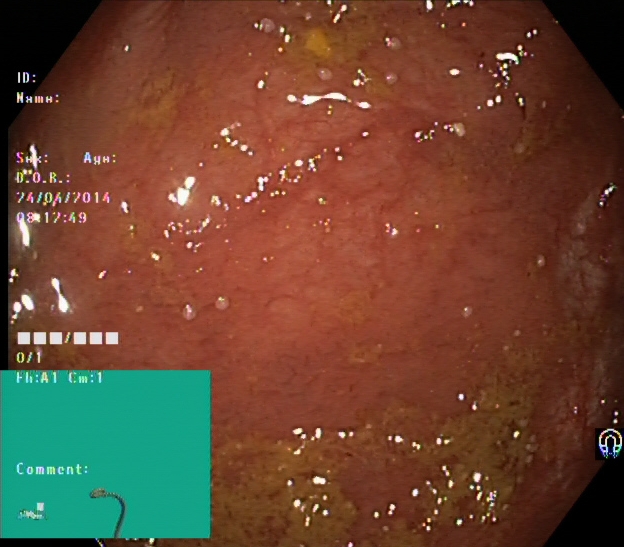Lower gastrointestinal endoscopy. Tract: lower GI tract. Finding: UC, Mayo endoscopic subscore 1.